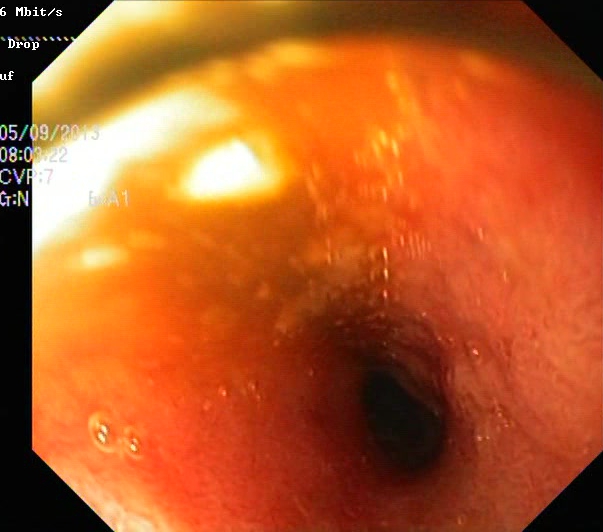PROCEDURE: Lower gastrointestinal endoscopy.
FINDINGS: UC, Mayo endoscopic subscore 2.